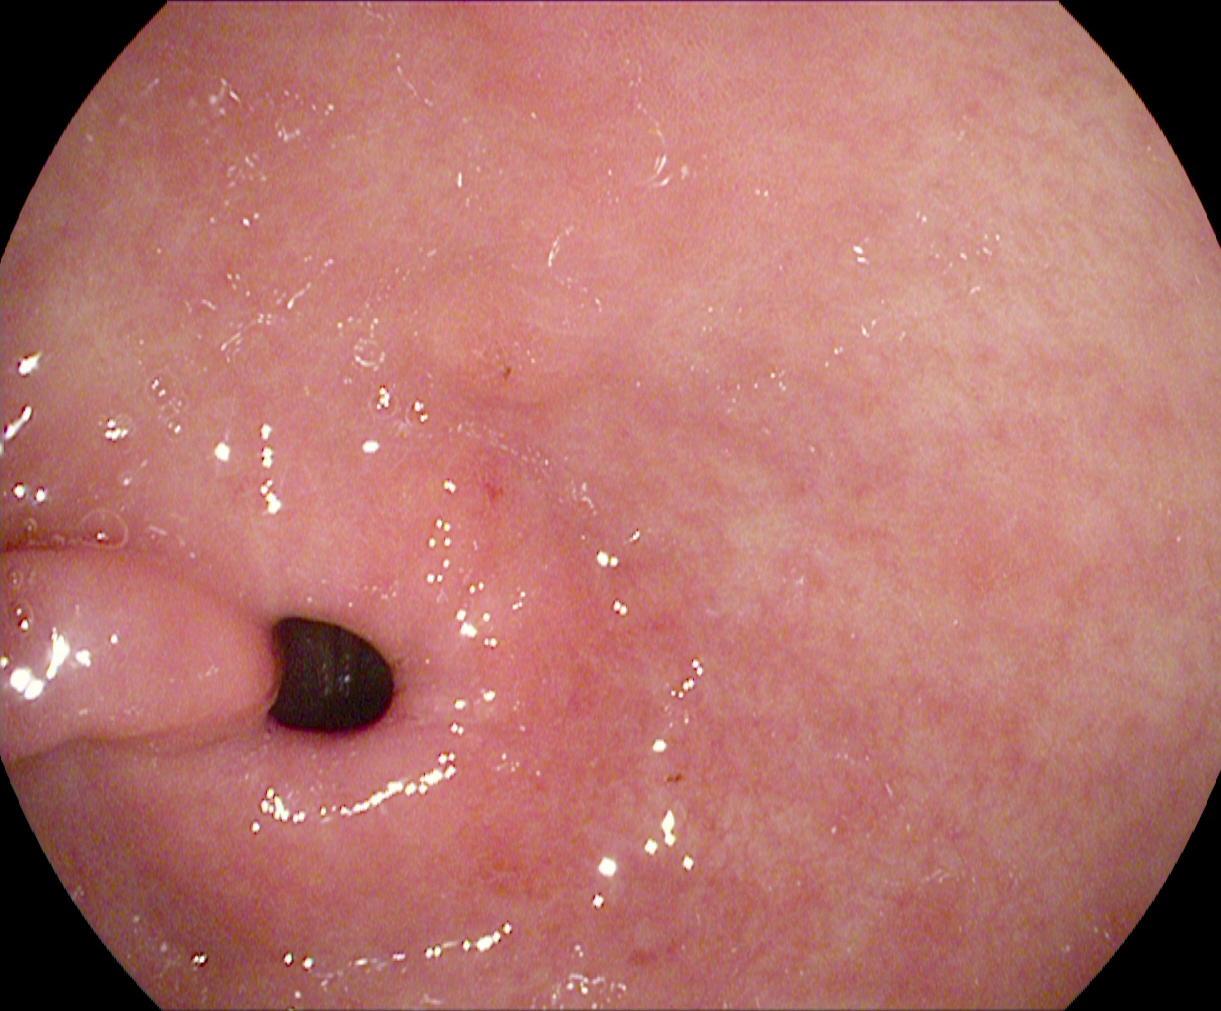Upper-GI endoscopy — pylorus.